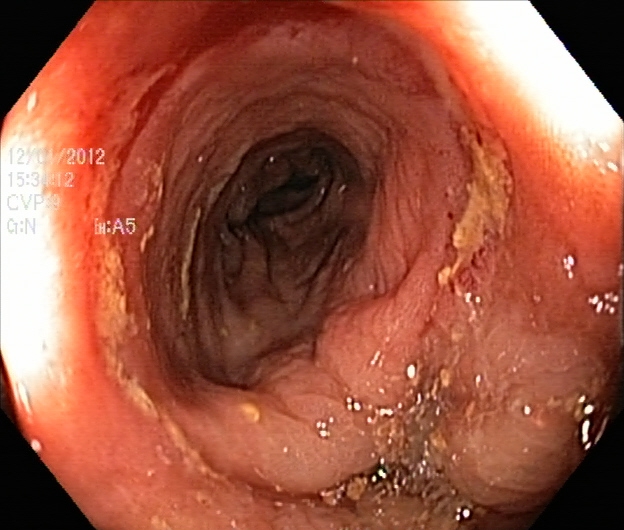{"modality": "lower gastrointestinal endoscopy", "tract": "lower GI tract", "category": "pathological finding", "finding": "ulcerative colitis, Mayo endoscopic subscore 2"}